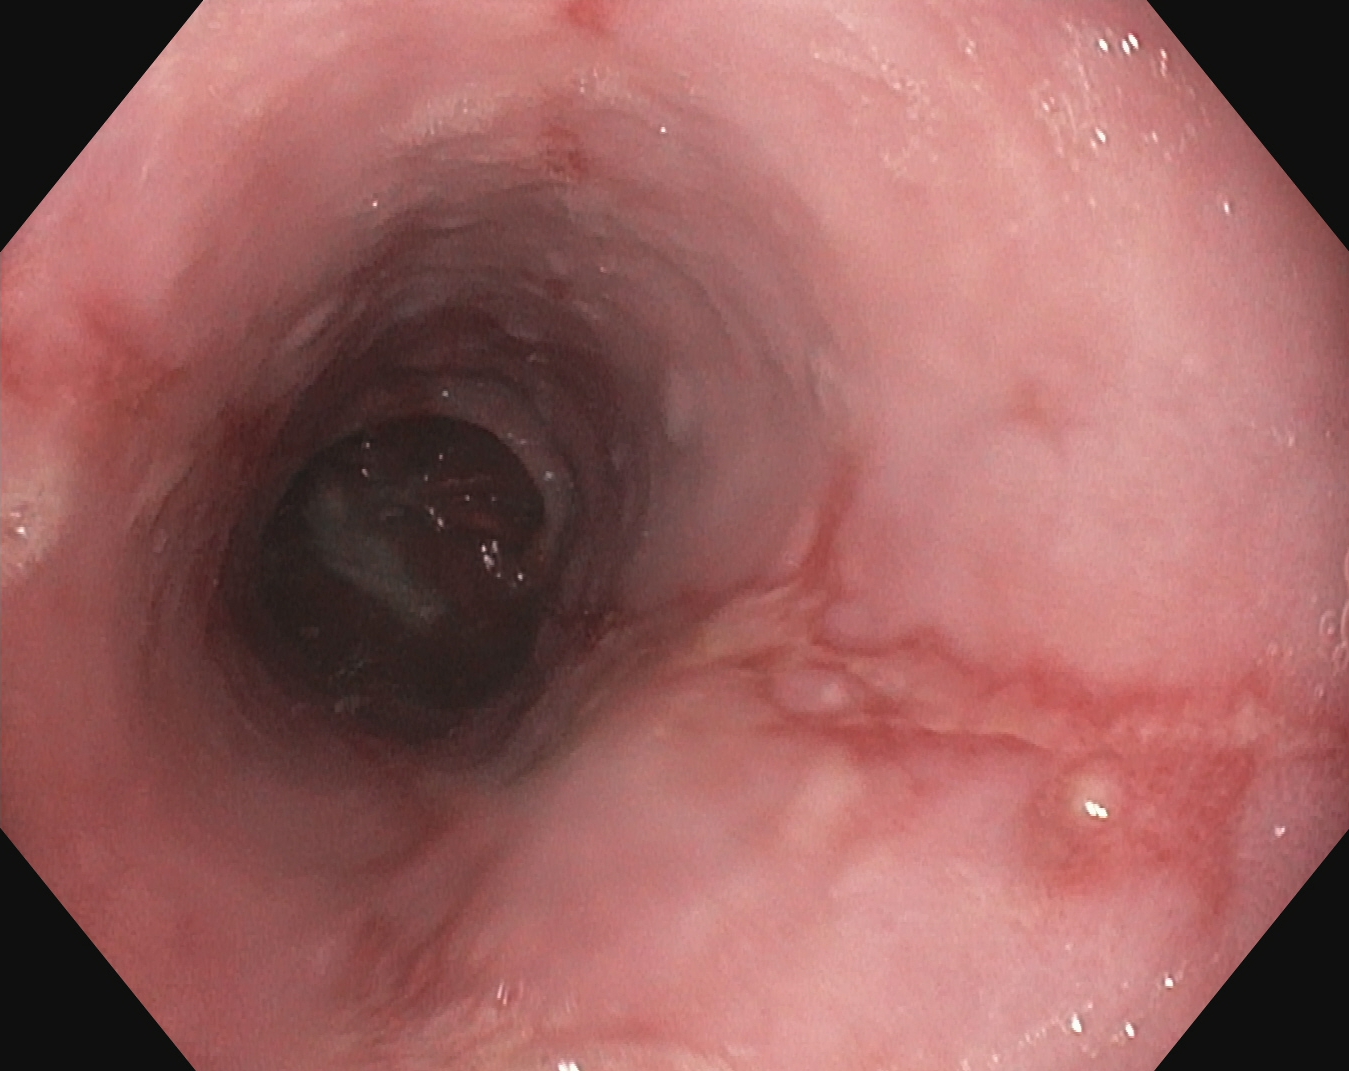Gastrointestinal endoscopy image of the upper GI tract showing reflux esophagitis, Los Angeles grade B–D.